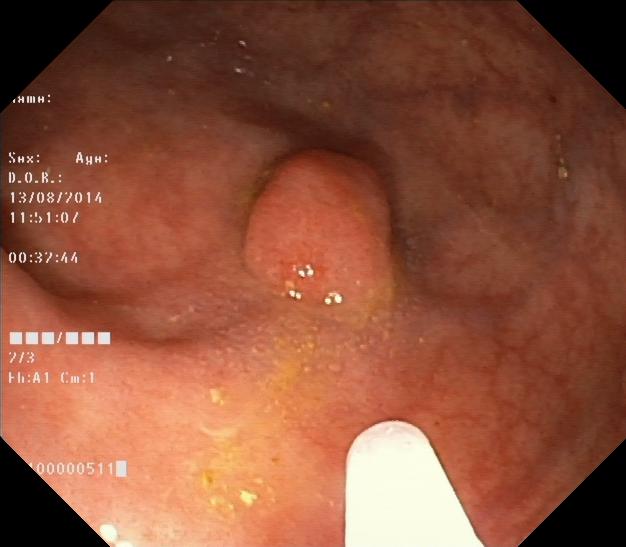{"modality": "colonoscopy", "finding": "colorectal polyp(s)"}